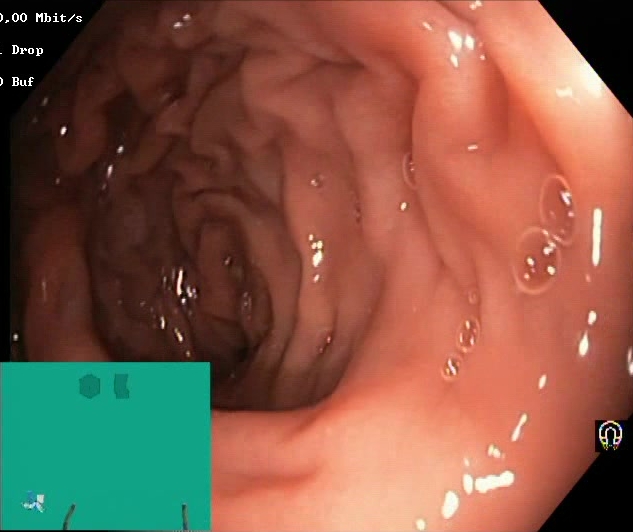GI endoscopy image of the lower GI tract showing BBPS score 2–3 (adequate preparation).